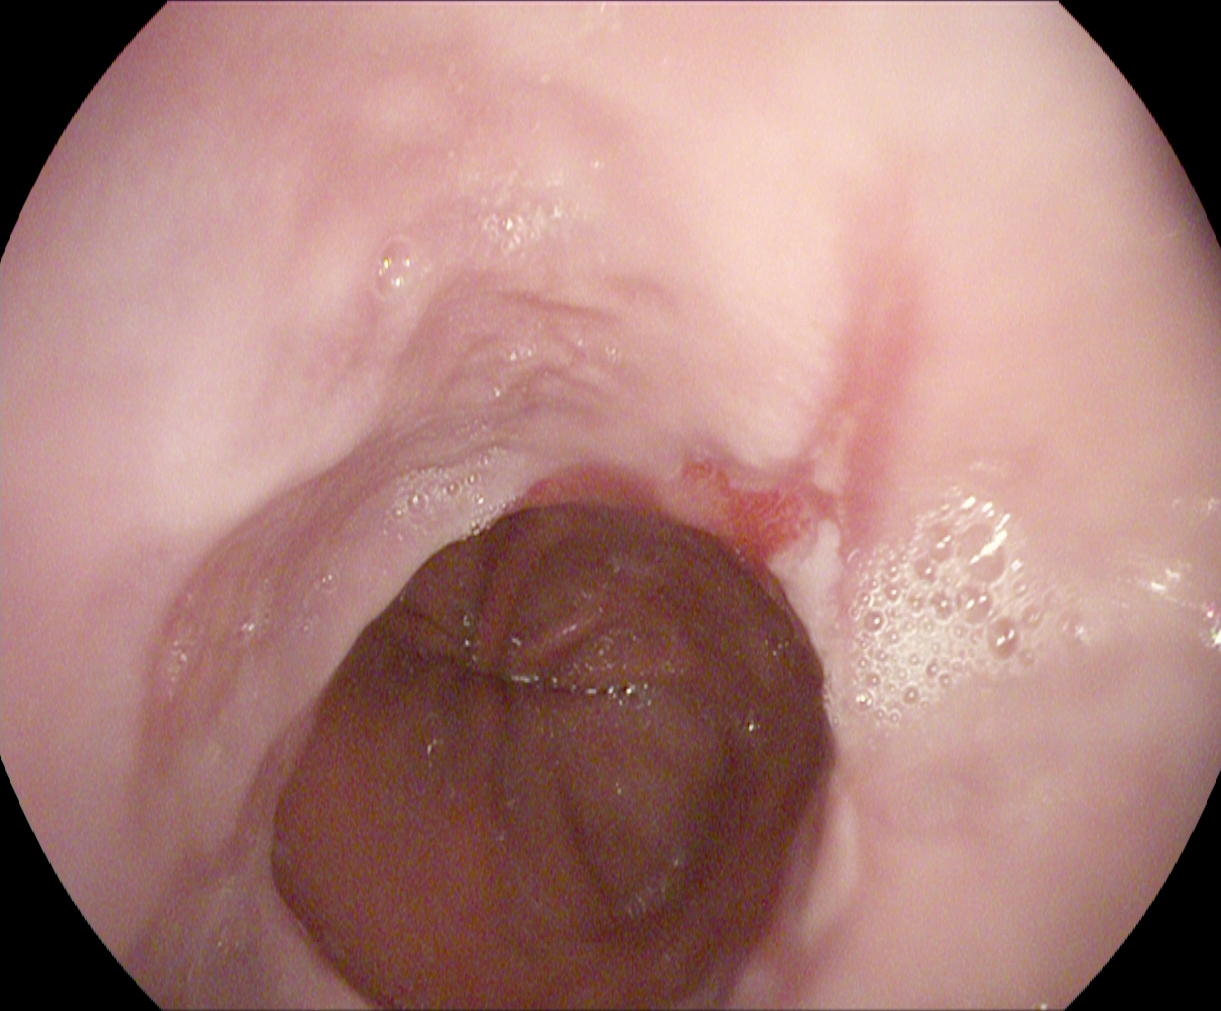This endoscopic image shows reflux esophagitis, LA grade A.